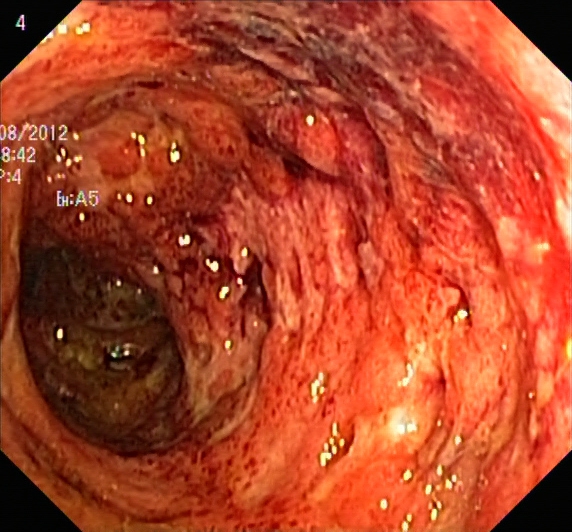modality: lower-GI endoscopy; tract: lower GI tract; category: pathological finding; finding: ulcerative colitis, Mayo endoscopic subscore 3